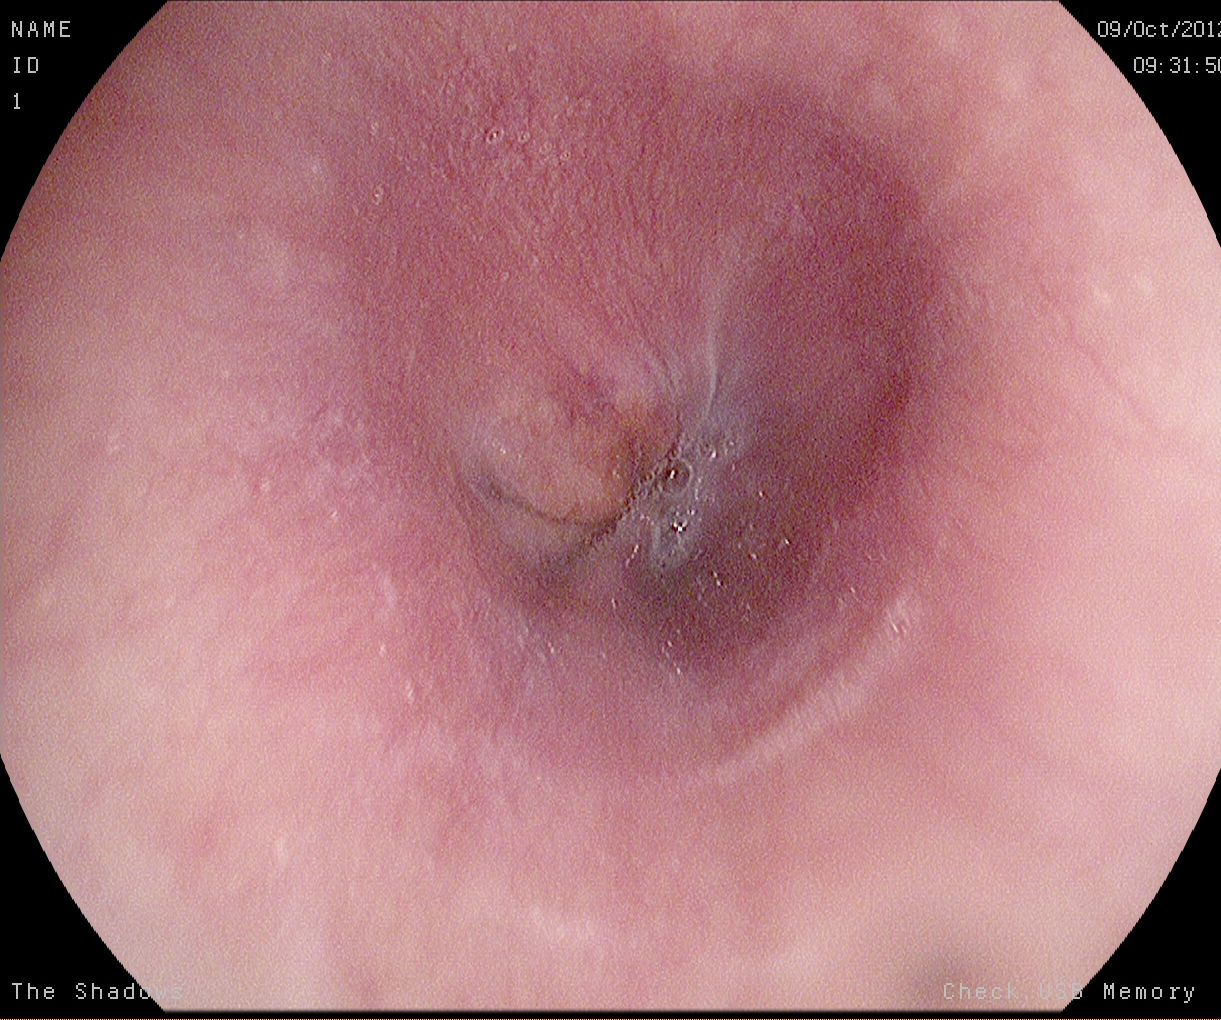Z-line (gastroesophageal junction).